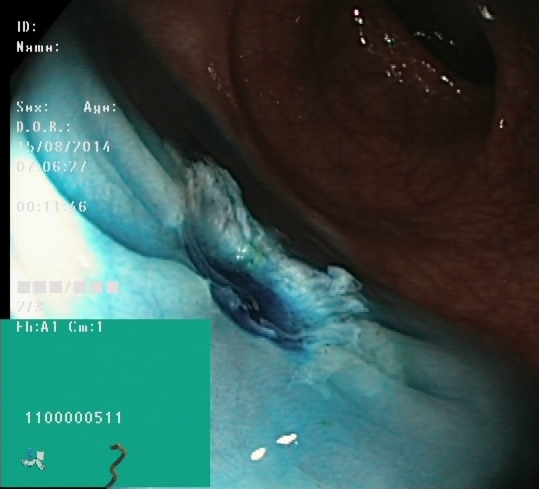This endoscopic image of the lower GI tract shows dyed resection margins (post-polypectomy).